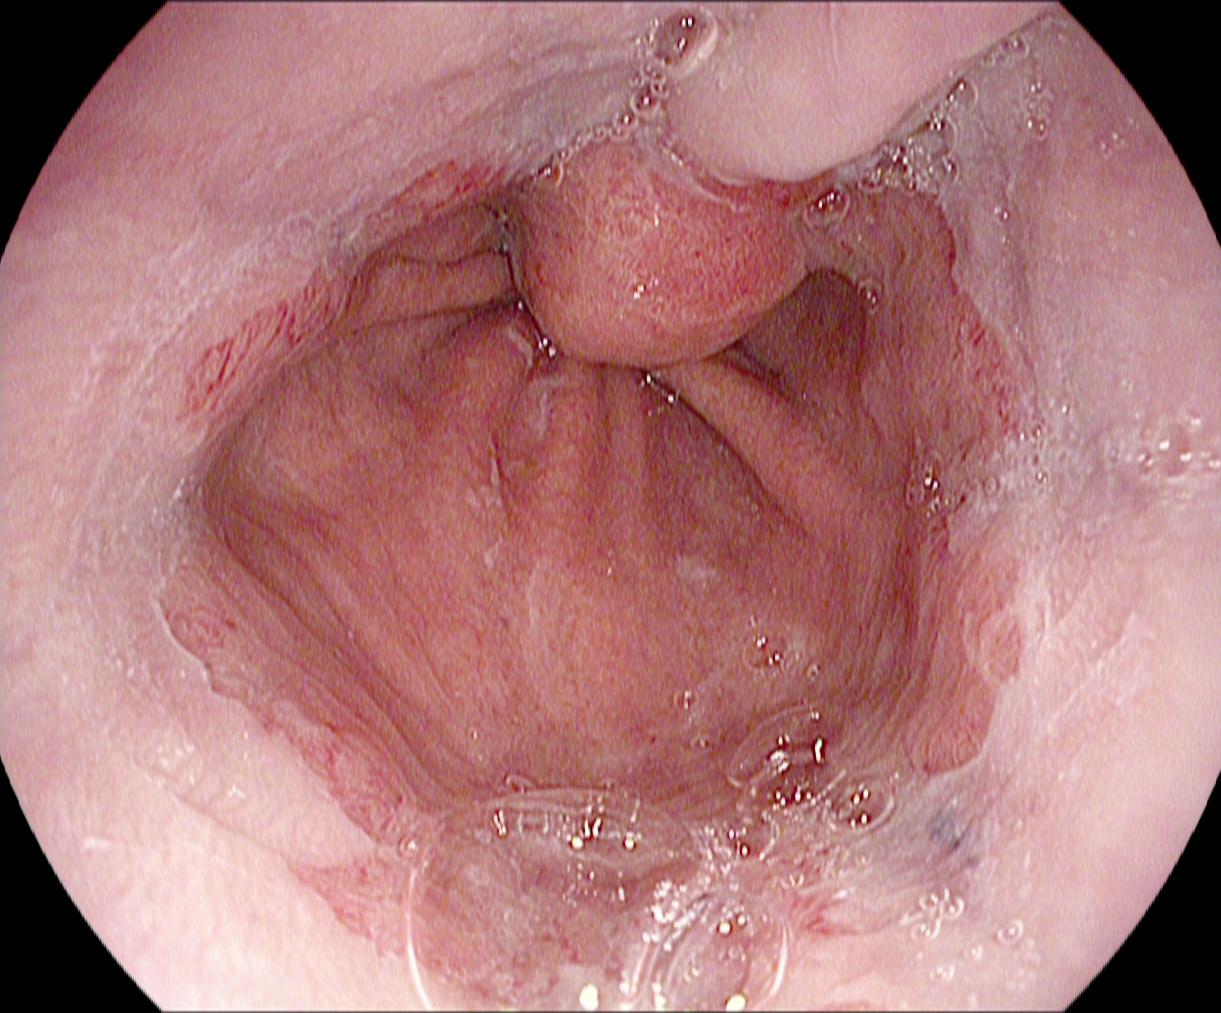Upper-GI endoscopy. Pathological finding. Finding: Barrett's esophagus, short segment.